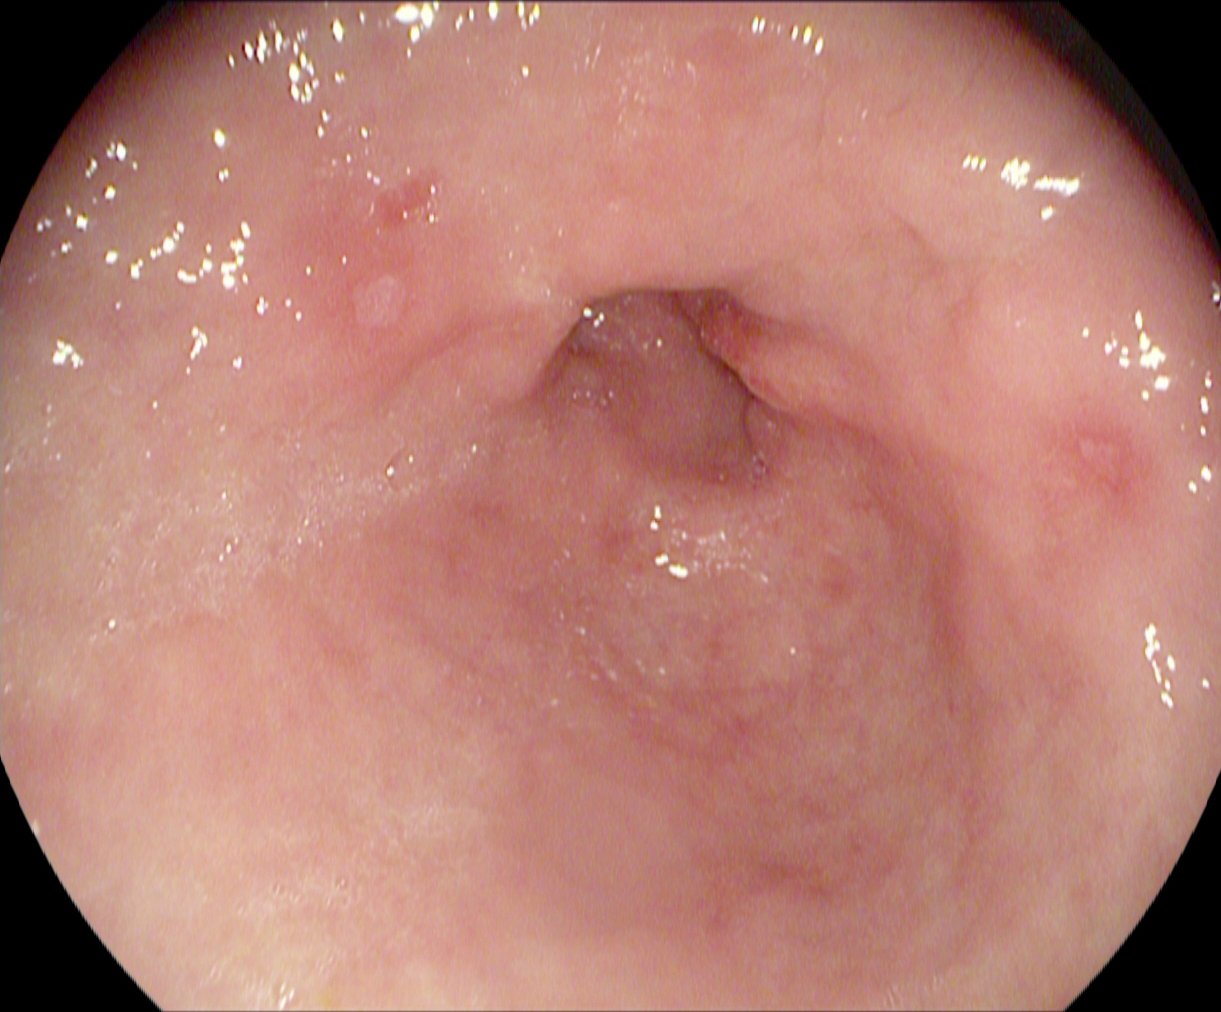GI endoscopy image of the upper GI tract showing pylorus.